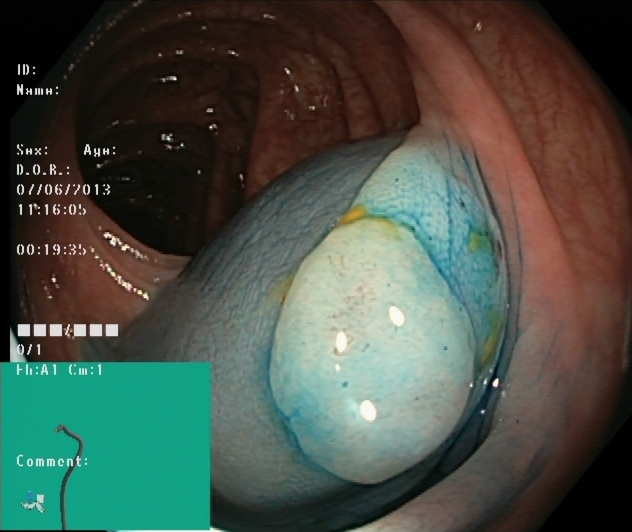Endoscopic image of the lower GI tract showing dyed and lifted polyp (pre-resection).